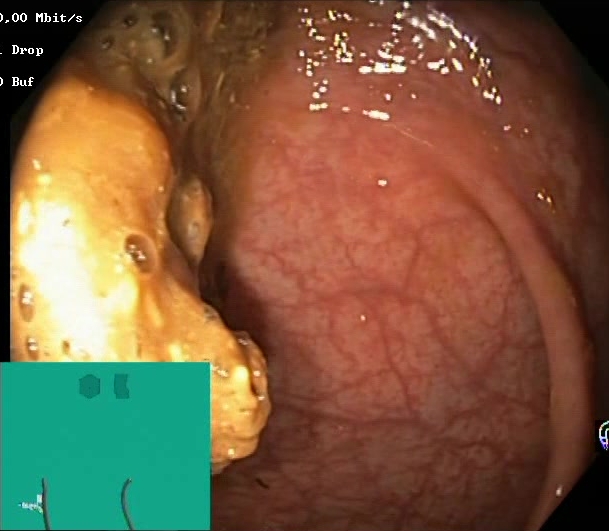Colonoscopy. Tract: lower GI tract. Finding: Boston Bowel Preparation Scale score 0–1 (inadequate preparation).